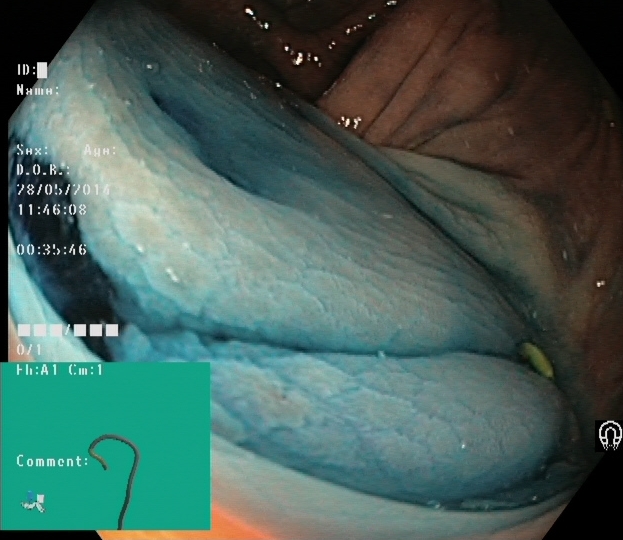Dyed resection margins (post-polypectomy).